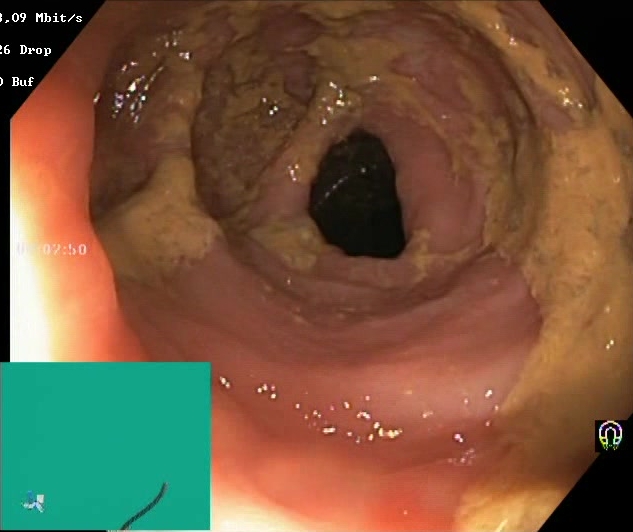modality: colonoscopy
tract: lower GI tract
finding: Boston Bowel Preparation Scale score 0–1 (inadequate preparation)